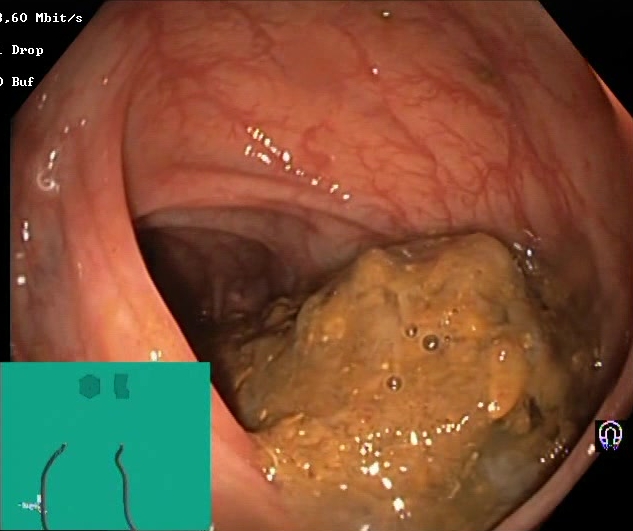Lower-GI endoscopy. Tract: lower GI tract. Finding: BBPS score 0–1 (inadequate preparation).